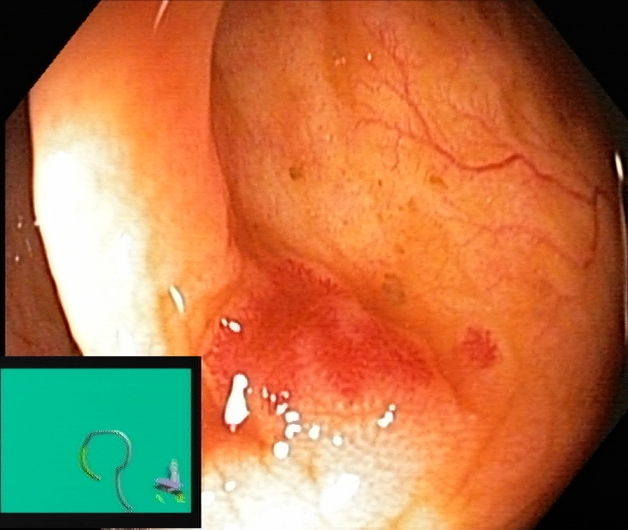modality: colonoscopy | finding: ulcerative colitis, Mayo endoscopic subscore 1